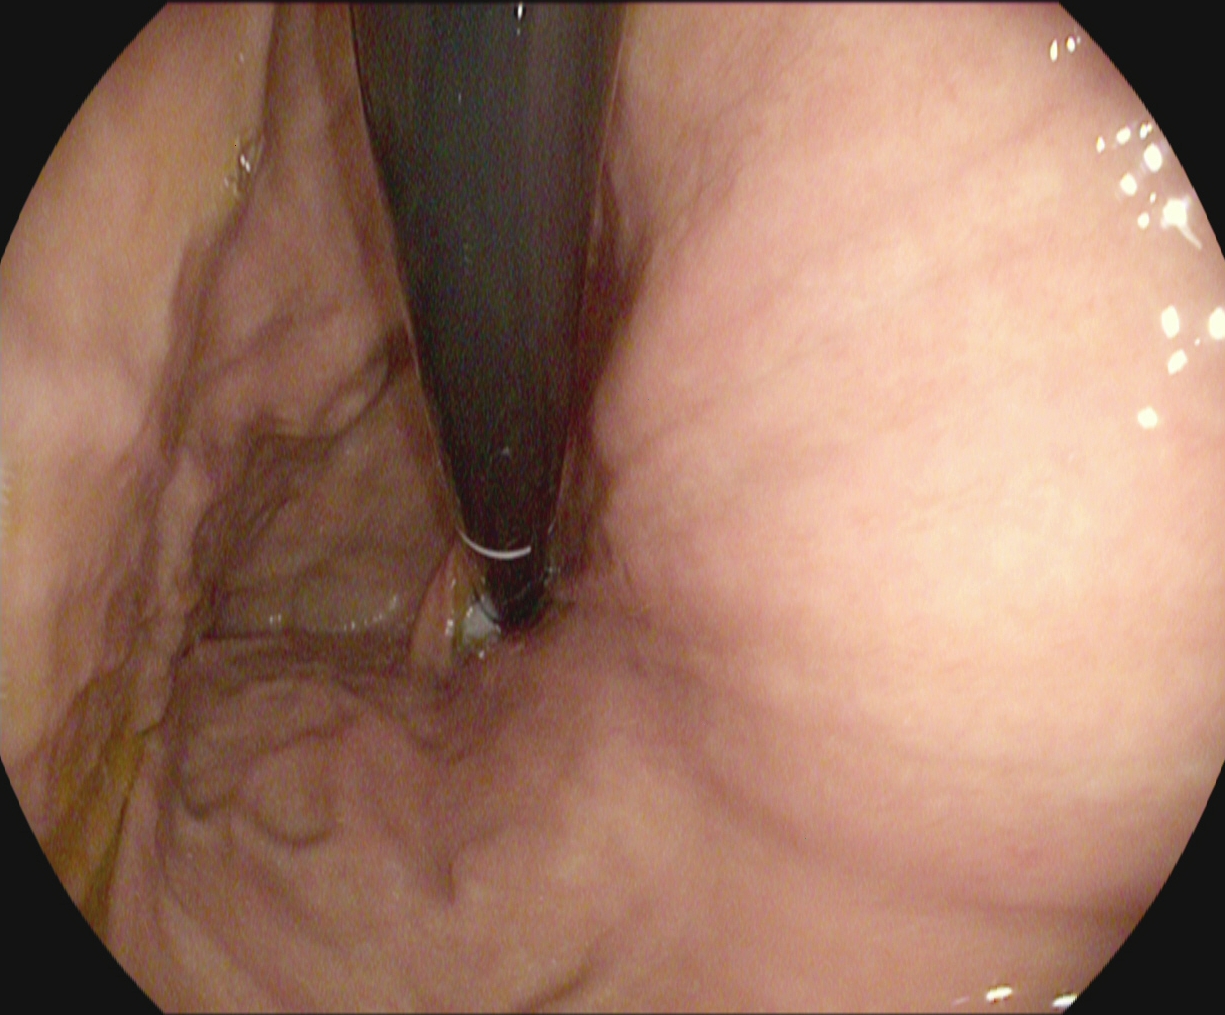Endoscopy image showing stomach in retroflexion.